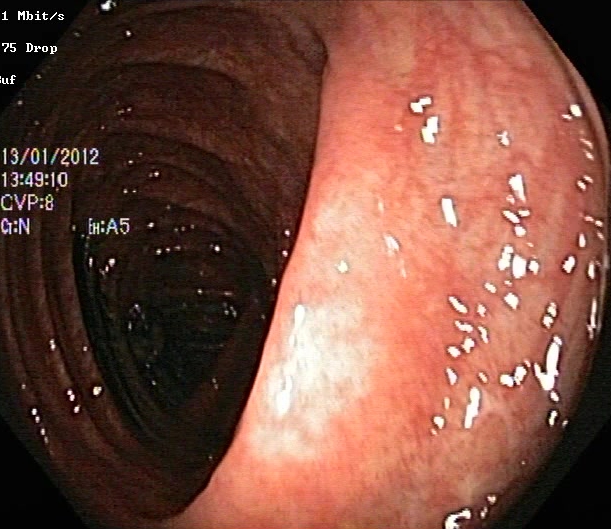modality: lower-GI endoscopy; tract: lower GI tract; finding: UC, Mayo endoscopic subscore 0–1